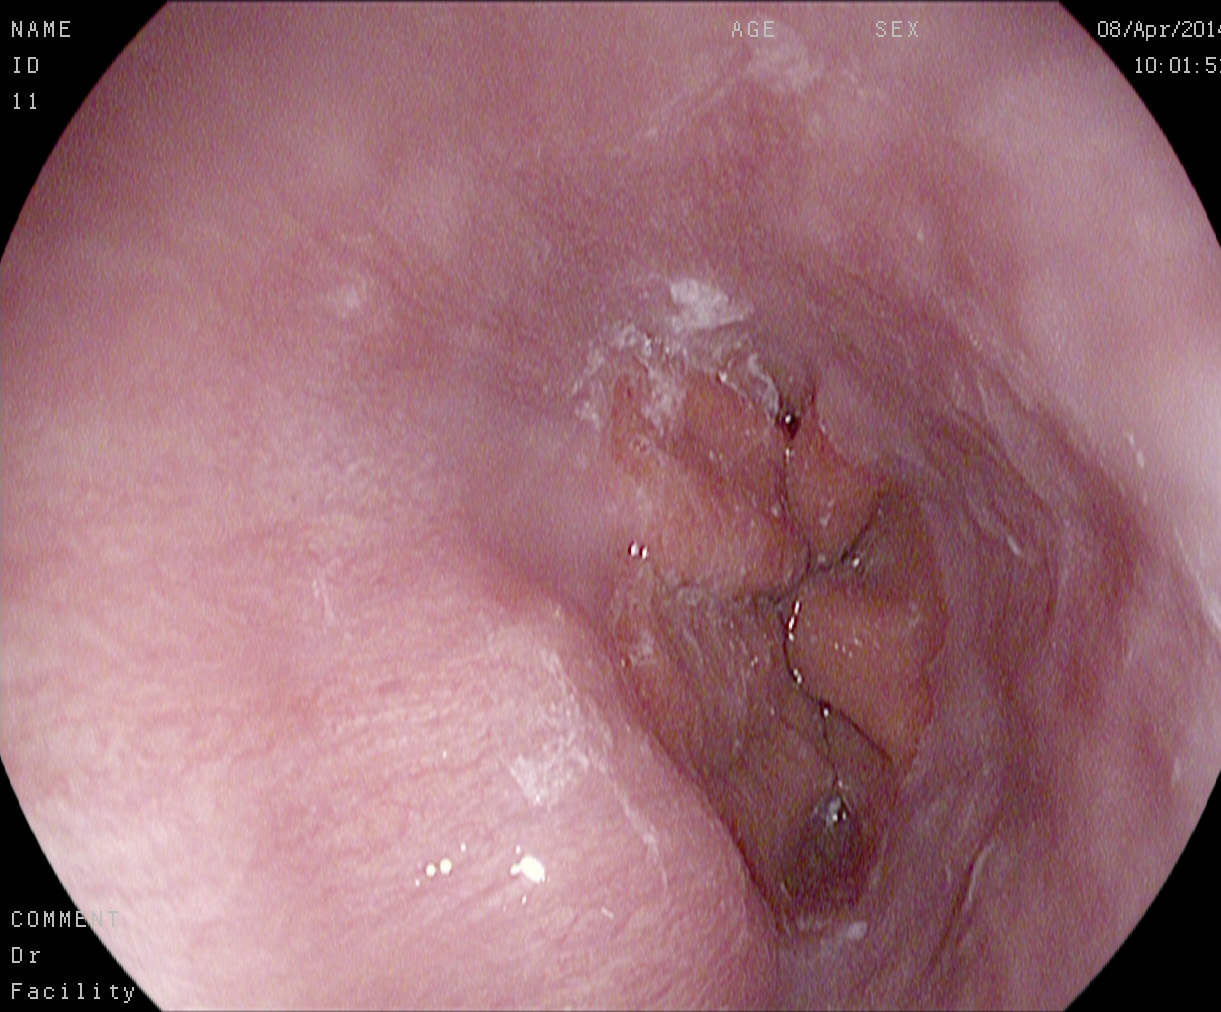Esophagogastroduodenoscopy. Finding: Z-line (gastroesophageal junction).